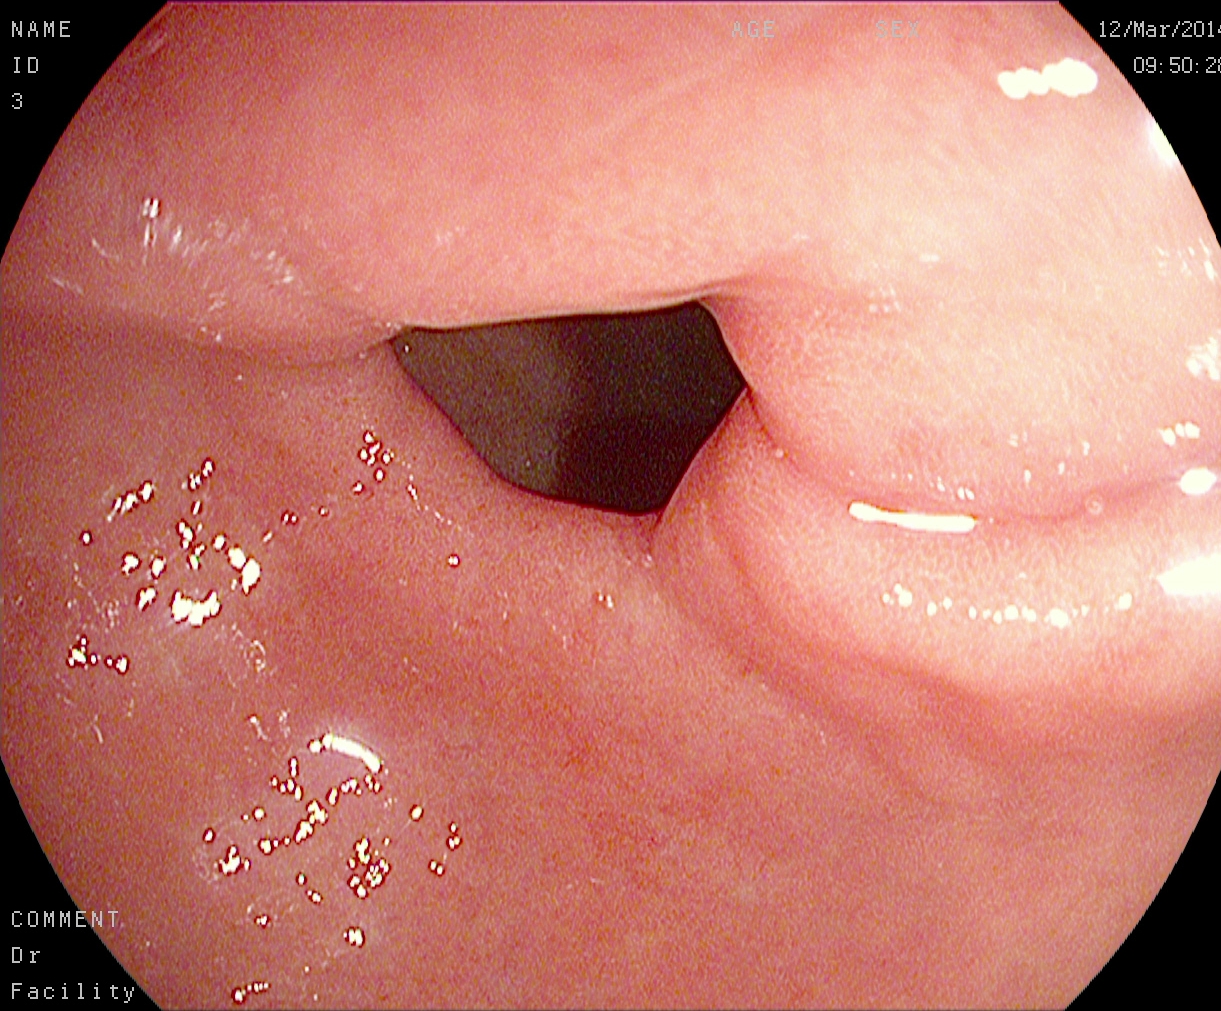modality: gastroscopy | finding: pylorus